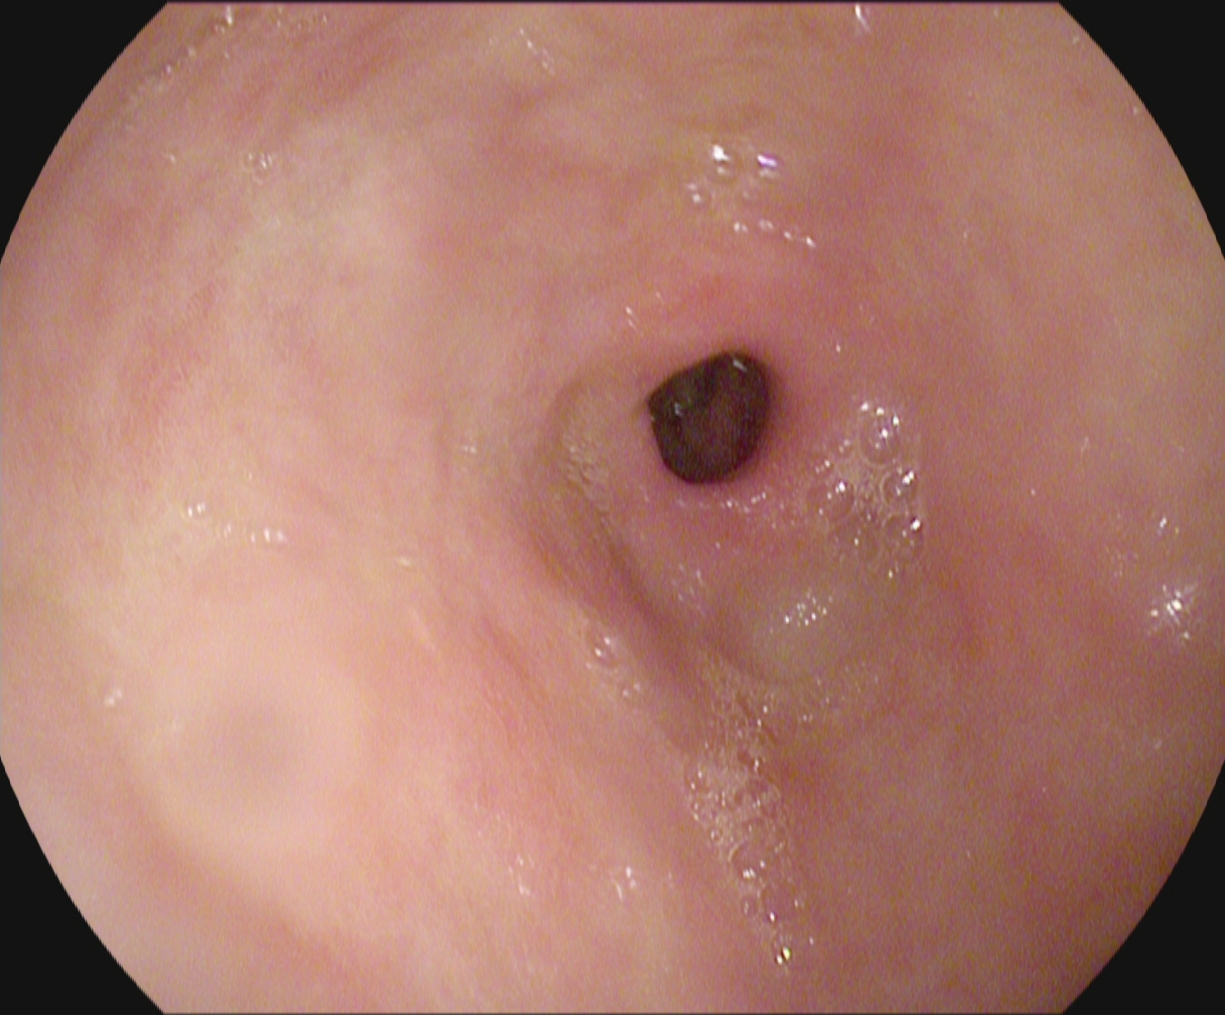pylorus.